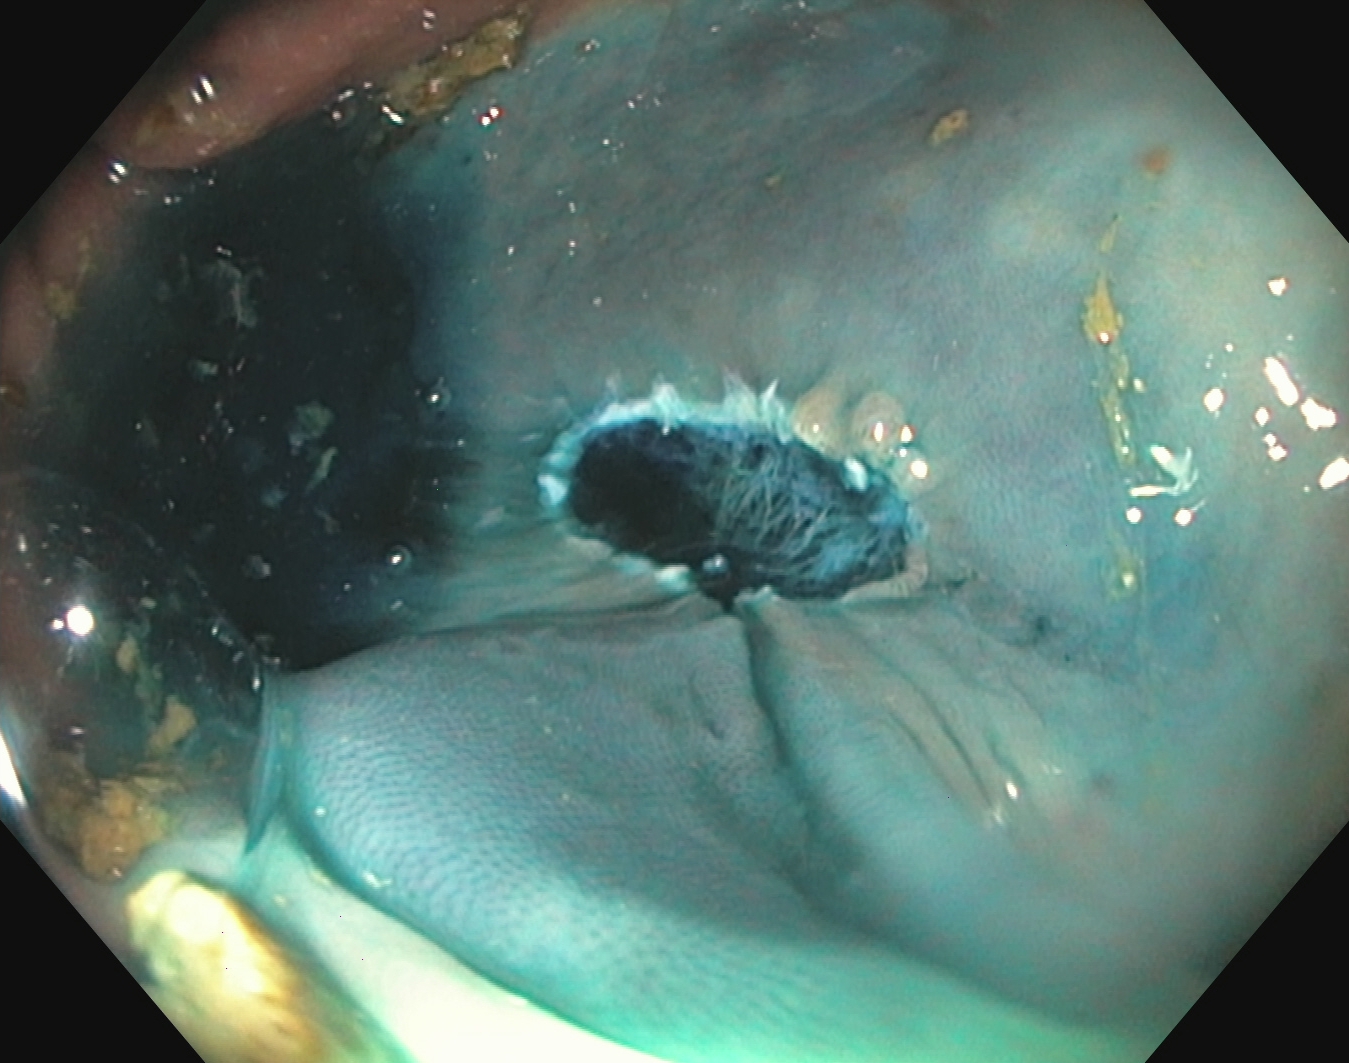This endoscopic image shows dyed resection margins (post-polypectomy).